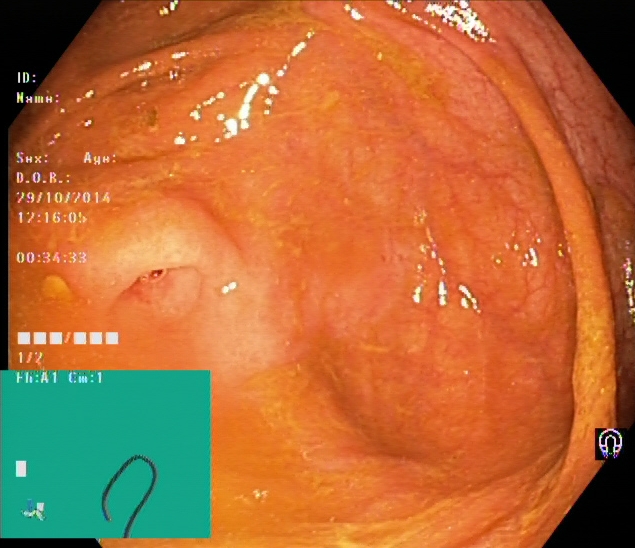Lower gastrointestinal endoscopy — cecum.